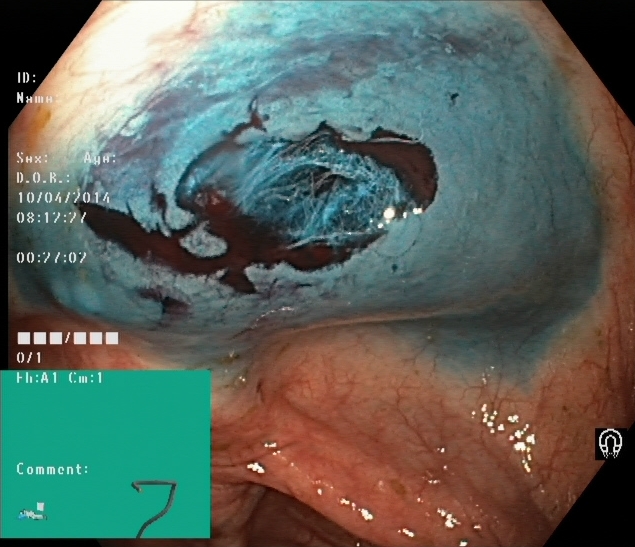modality: colonoscopy; category: therapeutic intervention; finding: dyed resection margins (post-polypectomy)